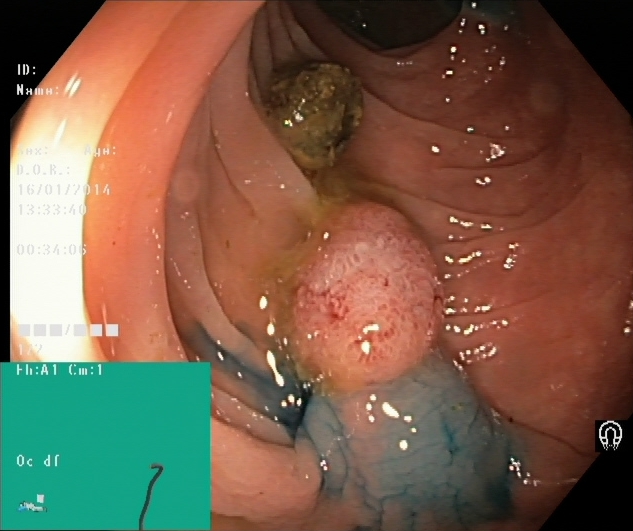PROCEDURE: Lower gastrointestinal endoscopy.
CATEGORY: Therapeutic intervention.
FINDINGS: Dyed and lifted polyp (pre-resection).